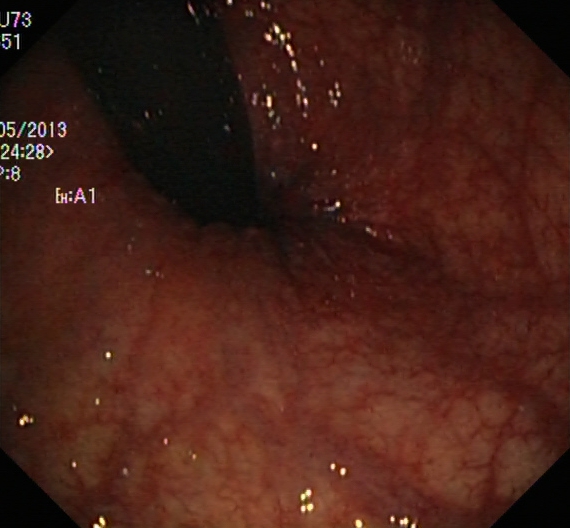modality: lower gastrointestinal endoscopy
finding: rectum in retroflexion